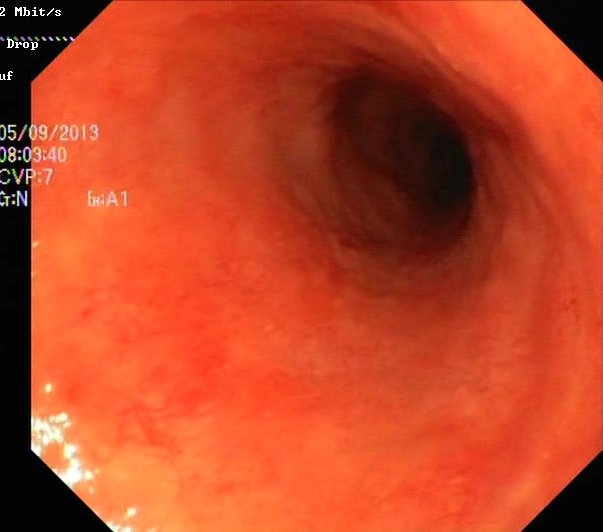Ulcerative colitis, Mayo endoscopic subscore 2.